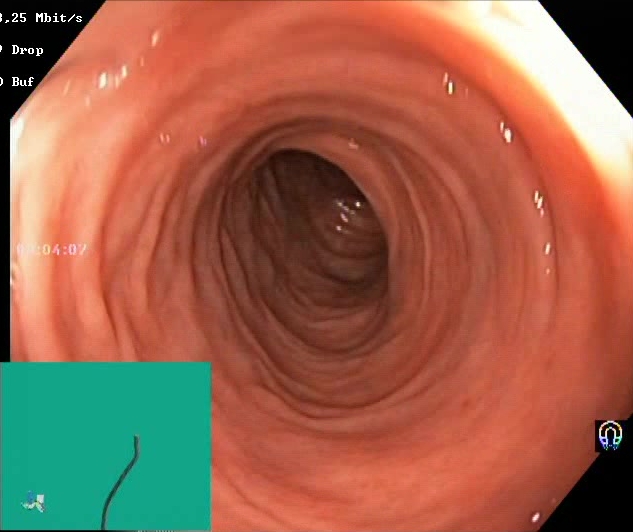Boston Bowel Preparation Scale score 2–3 (adequate preparation).